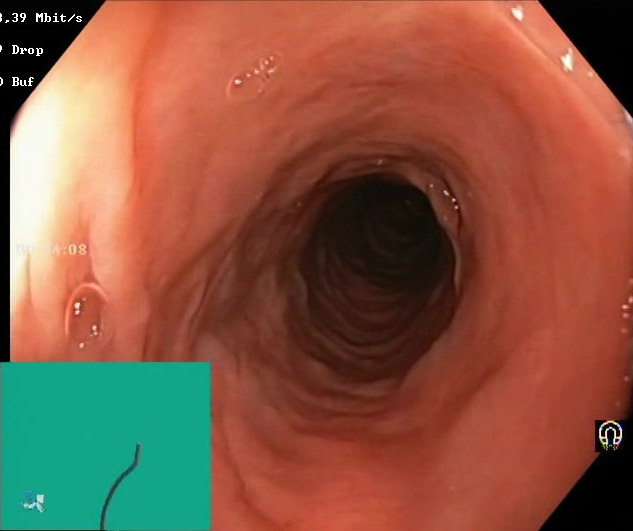BBPS score 2–3 (adequate preparation).